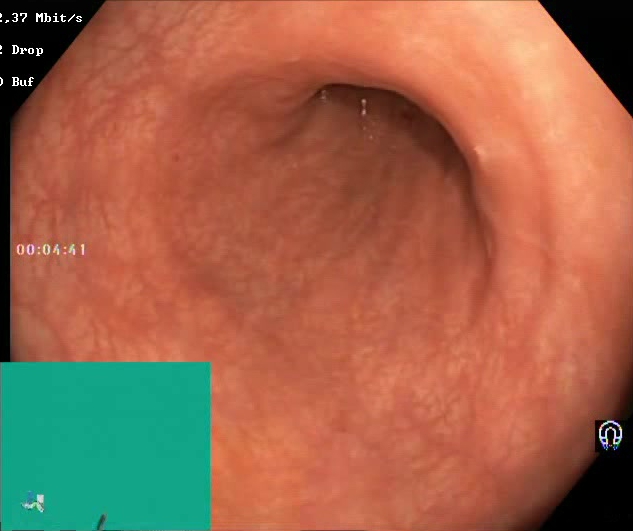This endoscopy frame of the lower GI tract shows BBPS score 2–3 (adequate preparation).